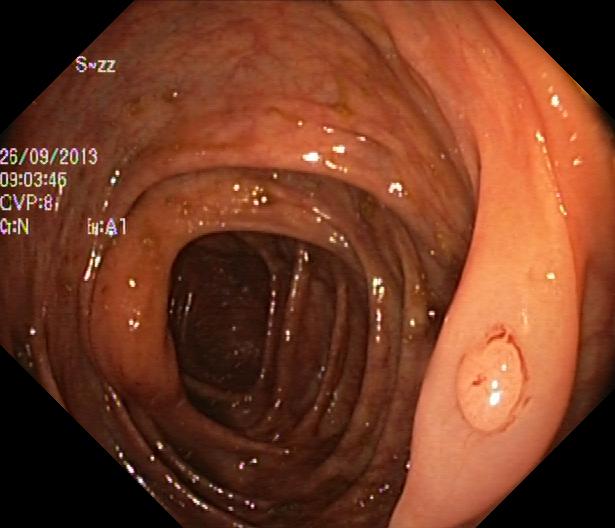{"modality": "lower gastrointestinal endoscopy", "tract": "lower GI tract", "finding": "colorectal polyp(s)"}